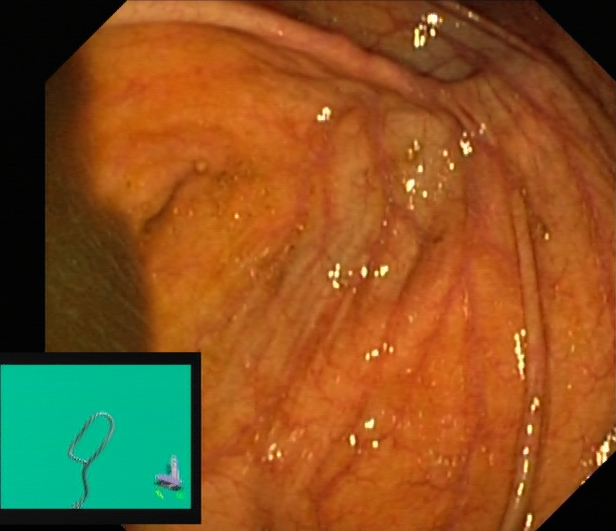Lower gastrointestinal endoscopy. Tract: lower GI tract. Anatomical landmark. Finding: cecum.